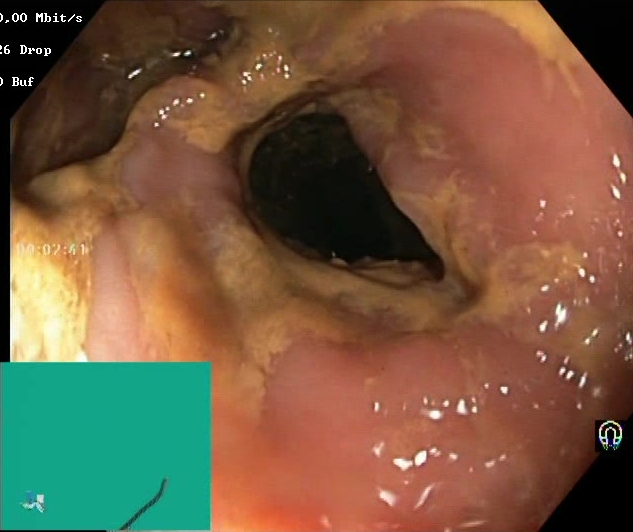modality: colonoscopy | category: mucosal-view quality | finding: Boston Bowel Preparation Scale score 0–1 (inadequate preparation)